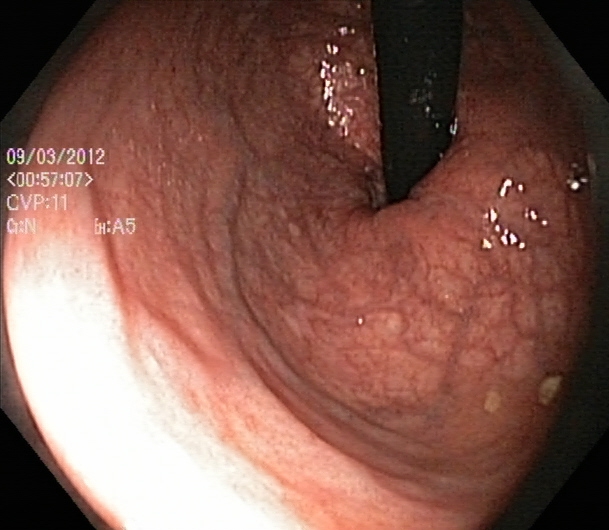{"modality": "lower-GI endoscopy", "tract": "lower GI tract", "category": "anatomical landmark", "finding": "rectum in retroflexion"}